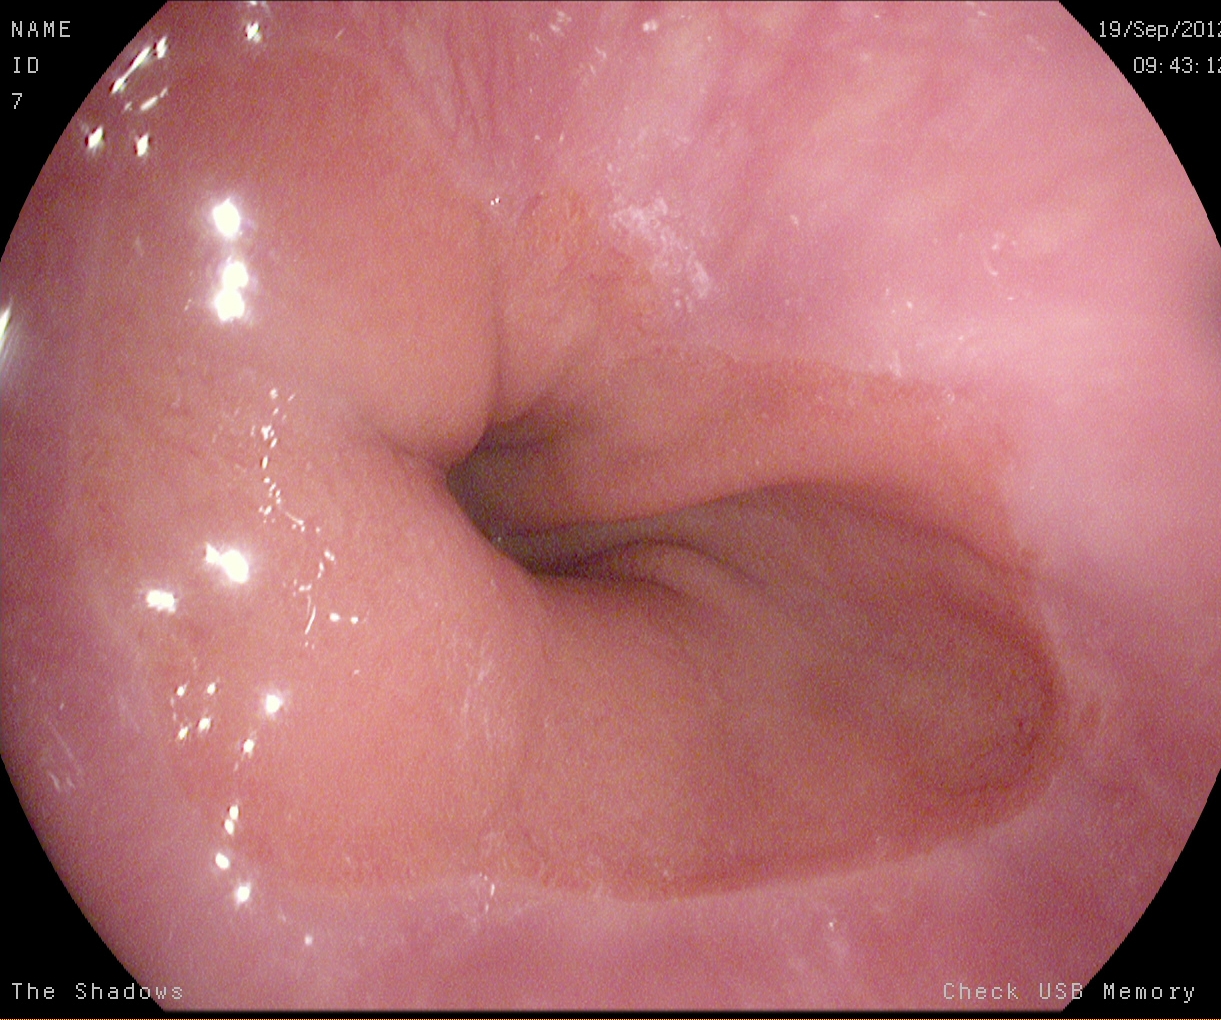Z-line (gastroesophageal junction).